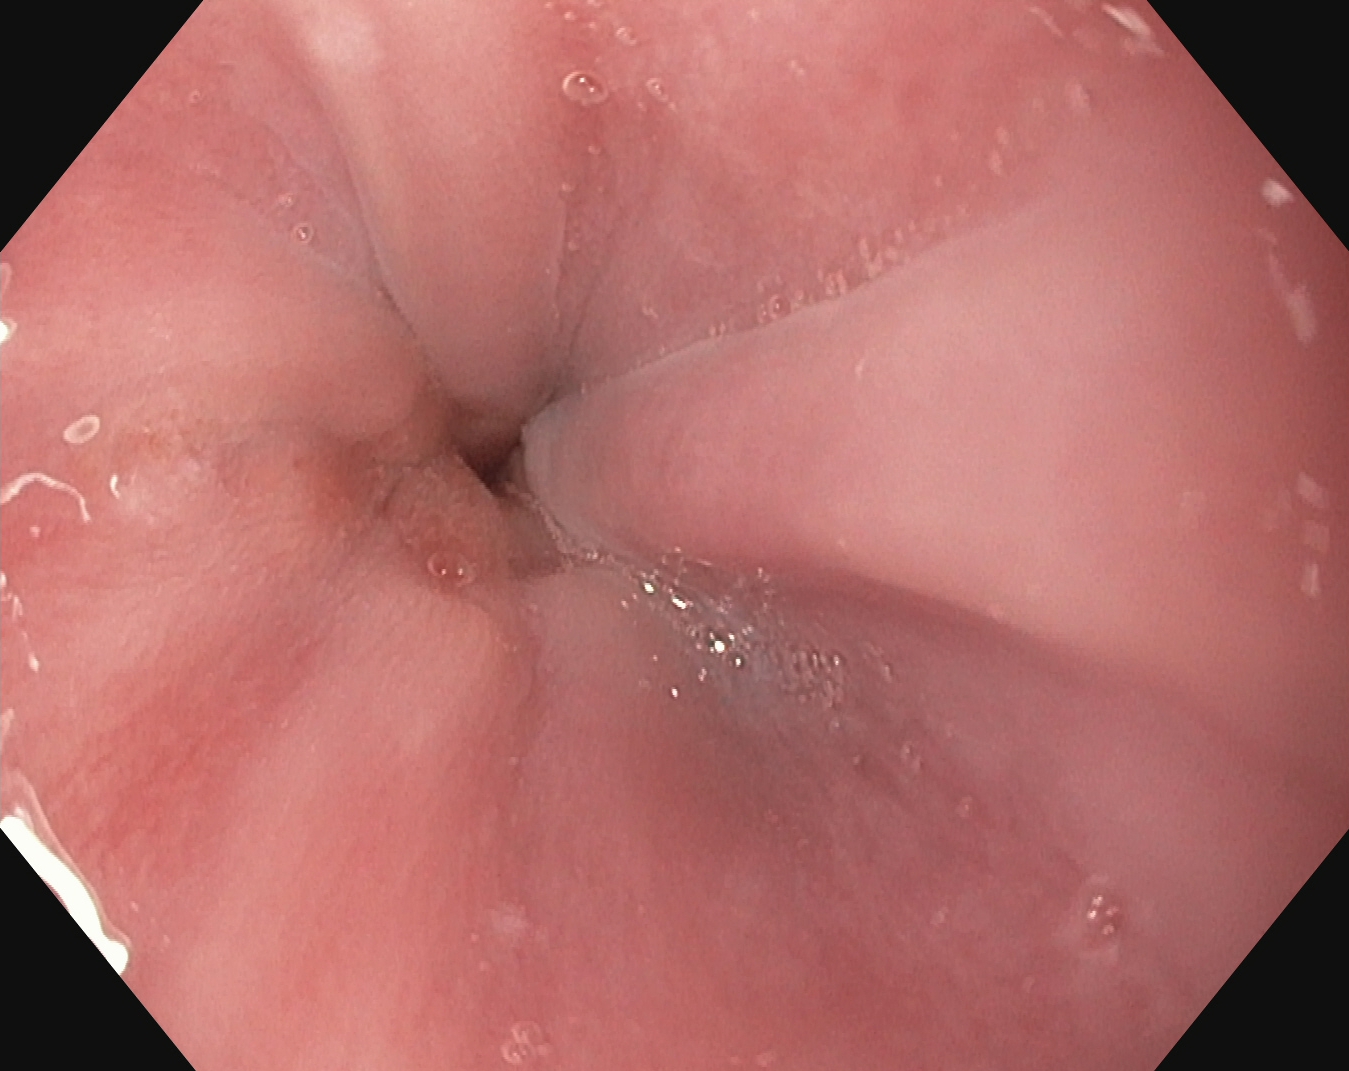PROCEDURE: EGD.
CATEGORY: Anatomical landmark.
FINDINGS: Z-line (gastroesophageal junction).